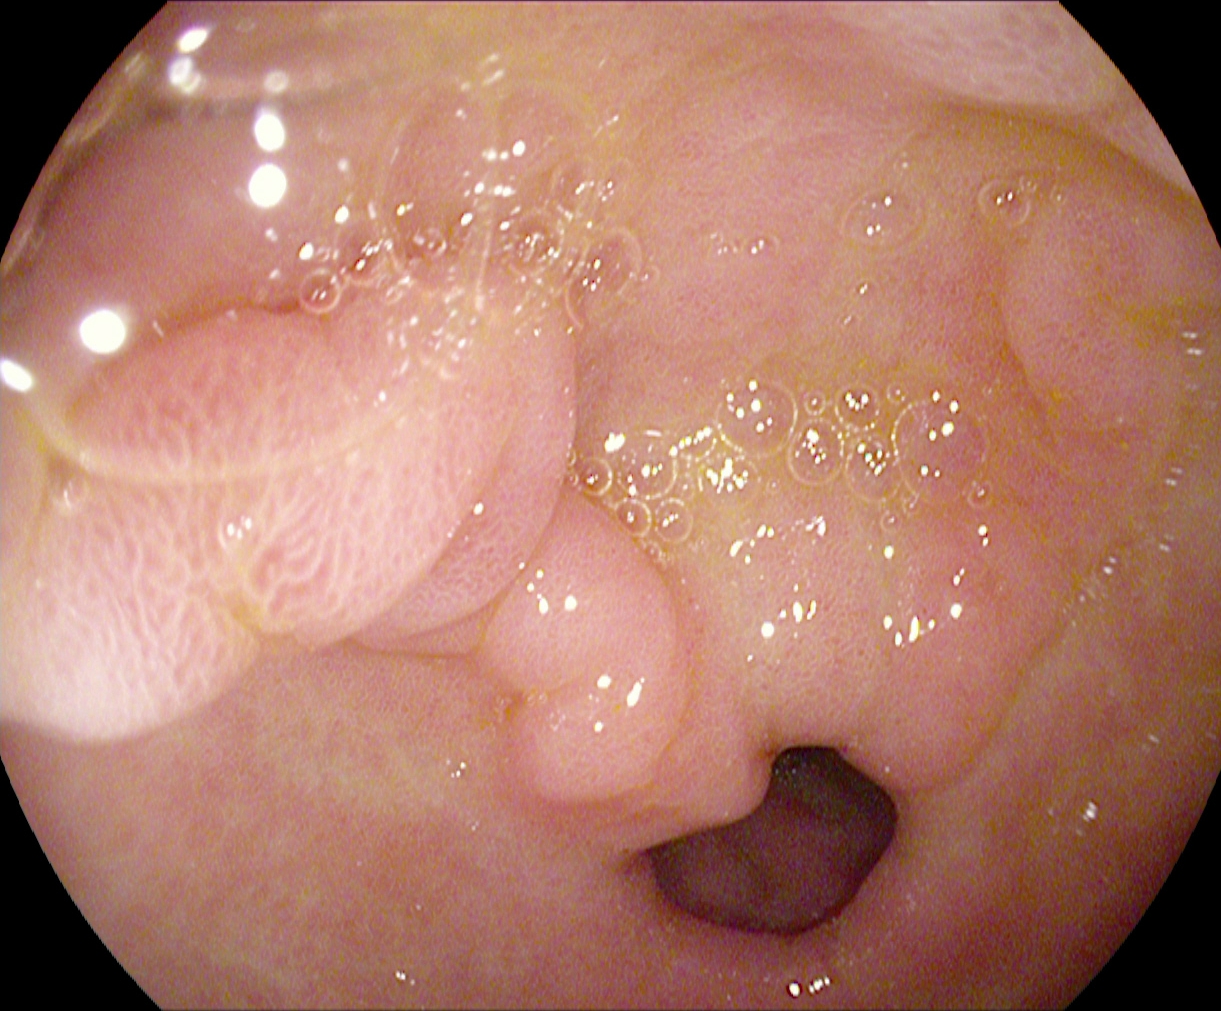Esophagogastroduodenoscopy. Tract: upper GI tract. Finding: pylorus.